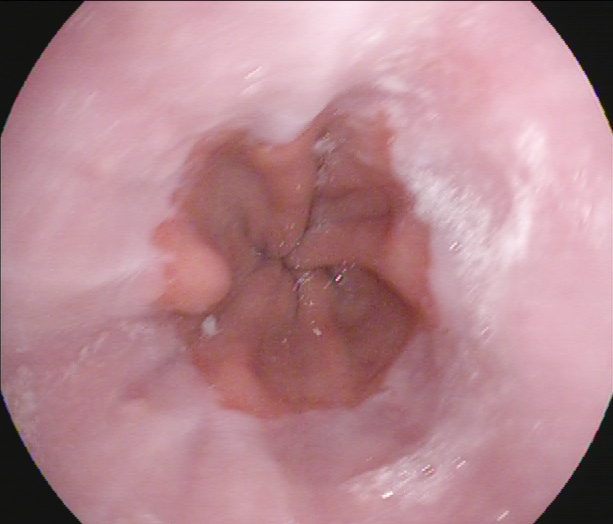Upper-GI endoscopy. Tract: upper GI tract. Anatomical landmark. Finding: Z-line (gastroesophageal junction).